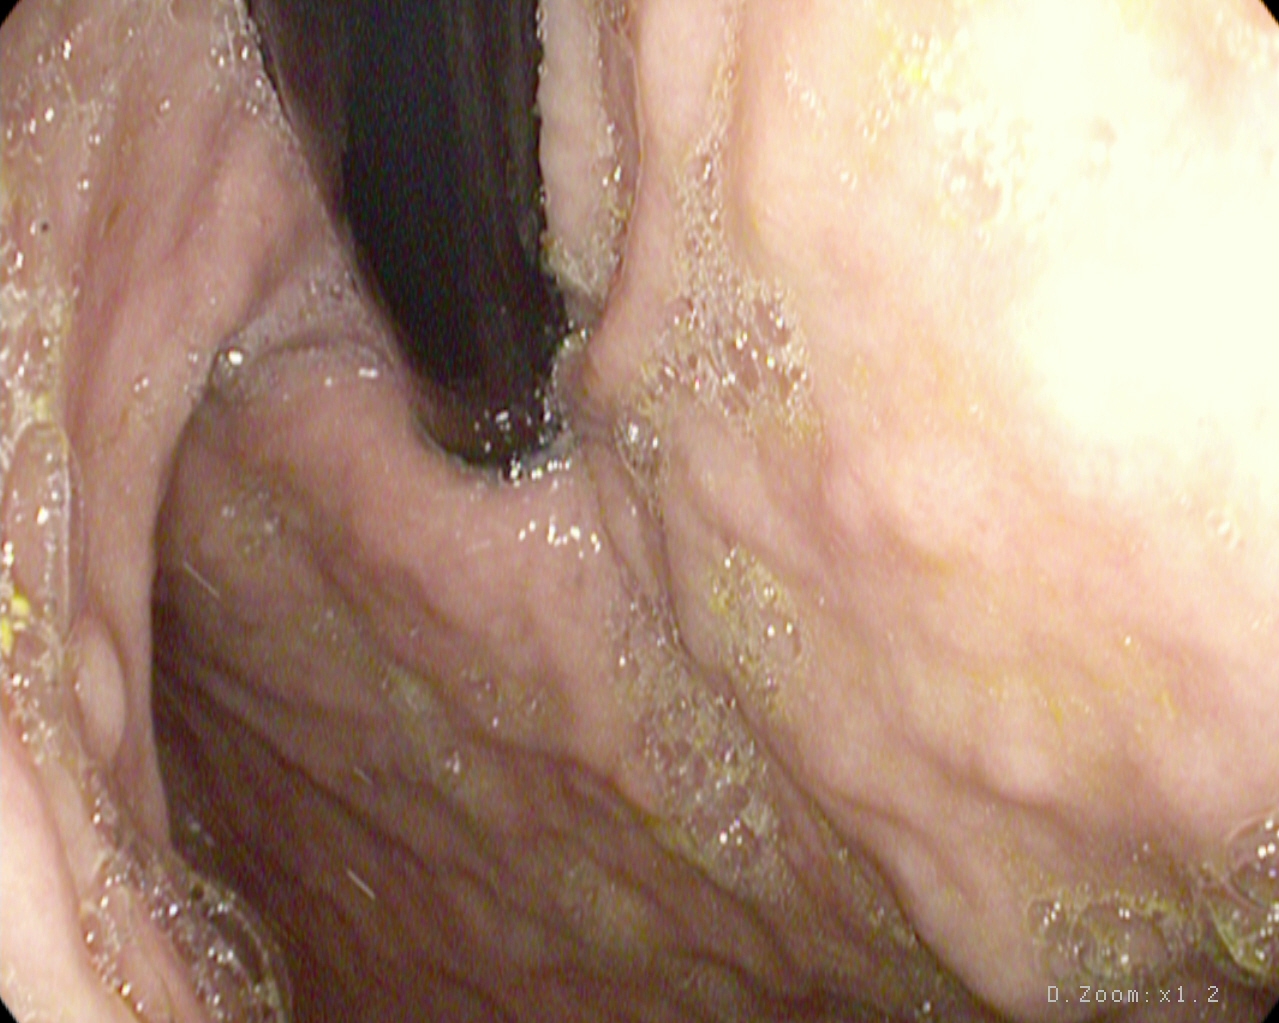modality: gastroscopy; tract: upper GI tract; category: anatomical landmark; finding: stomach in retroflexion